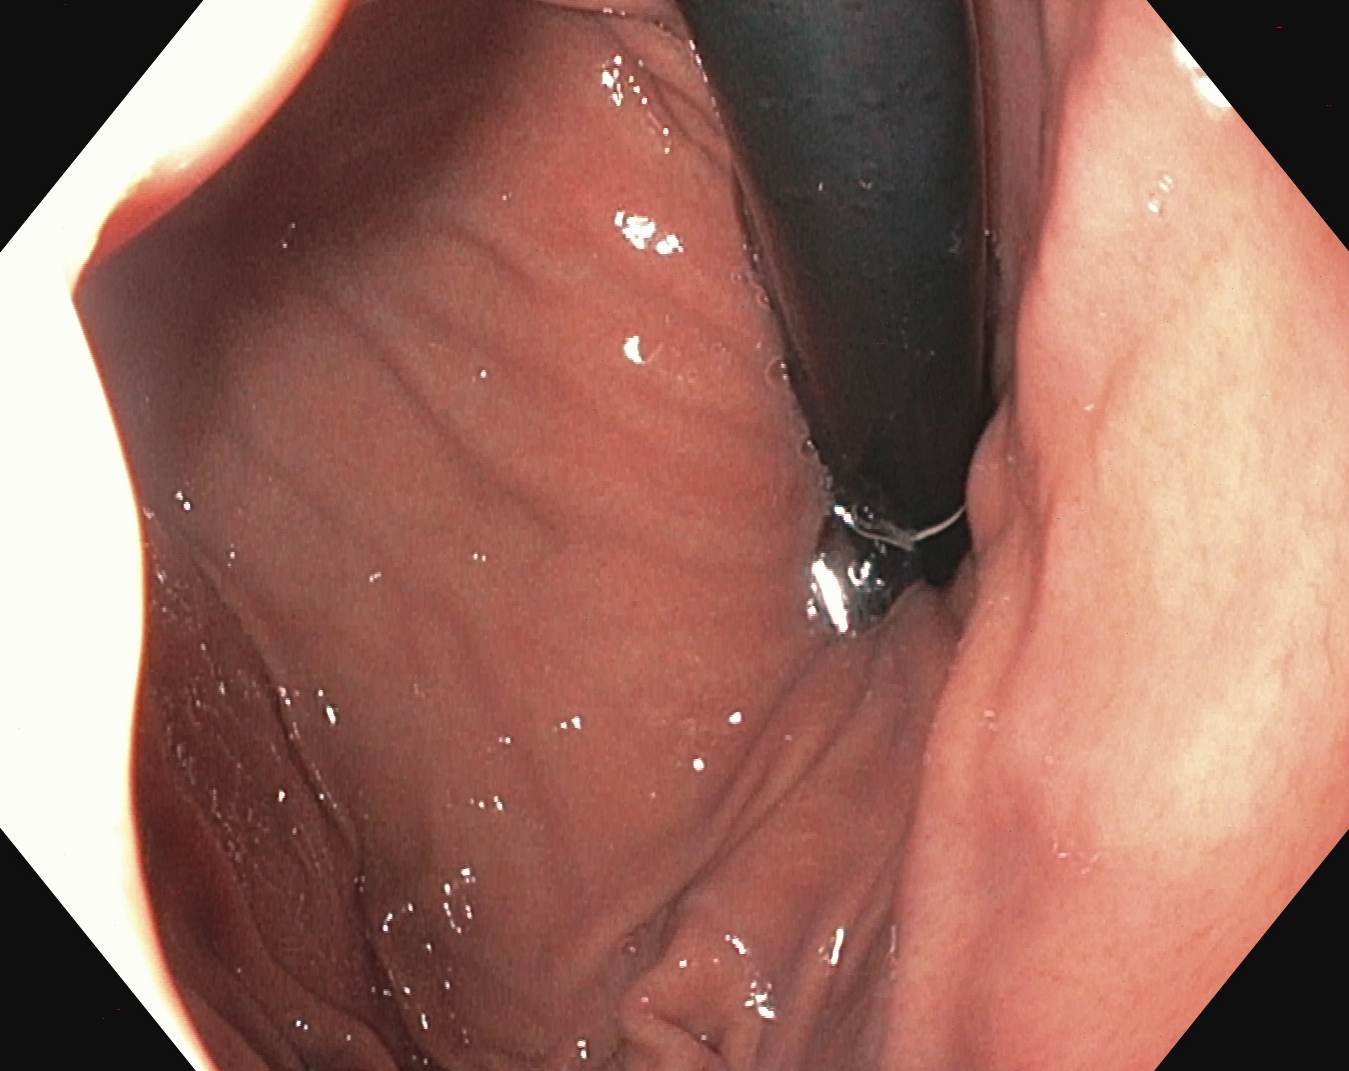Upper-GI endoscopy — stomach in retroflexion.